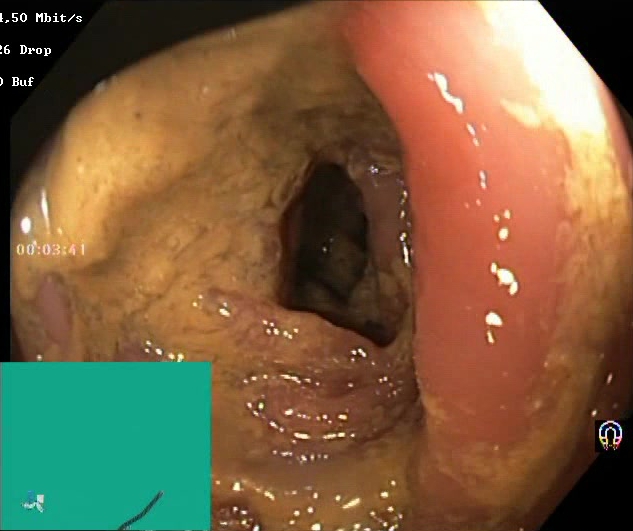{"modality": "lower-GI endoscopy", "tract": "lower GI tract", "finding": "Boston Bowel Preparation Scale score 0\u20131 (inadequate preparation)"}